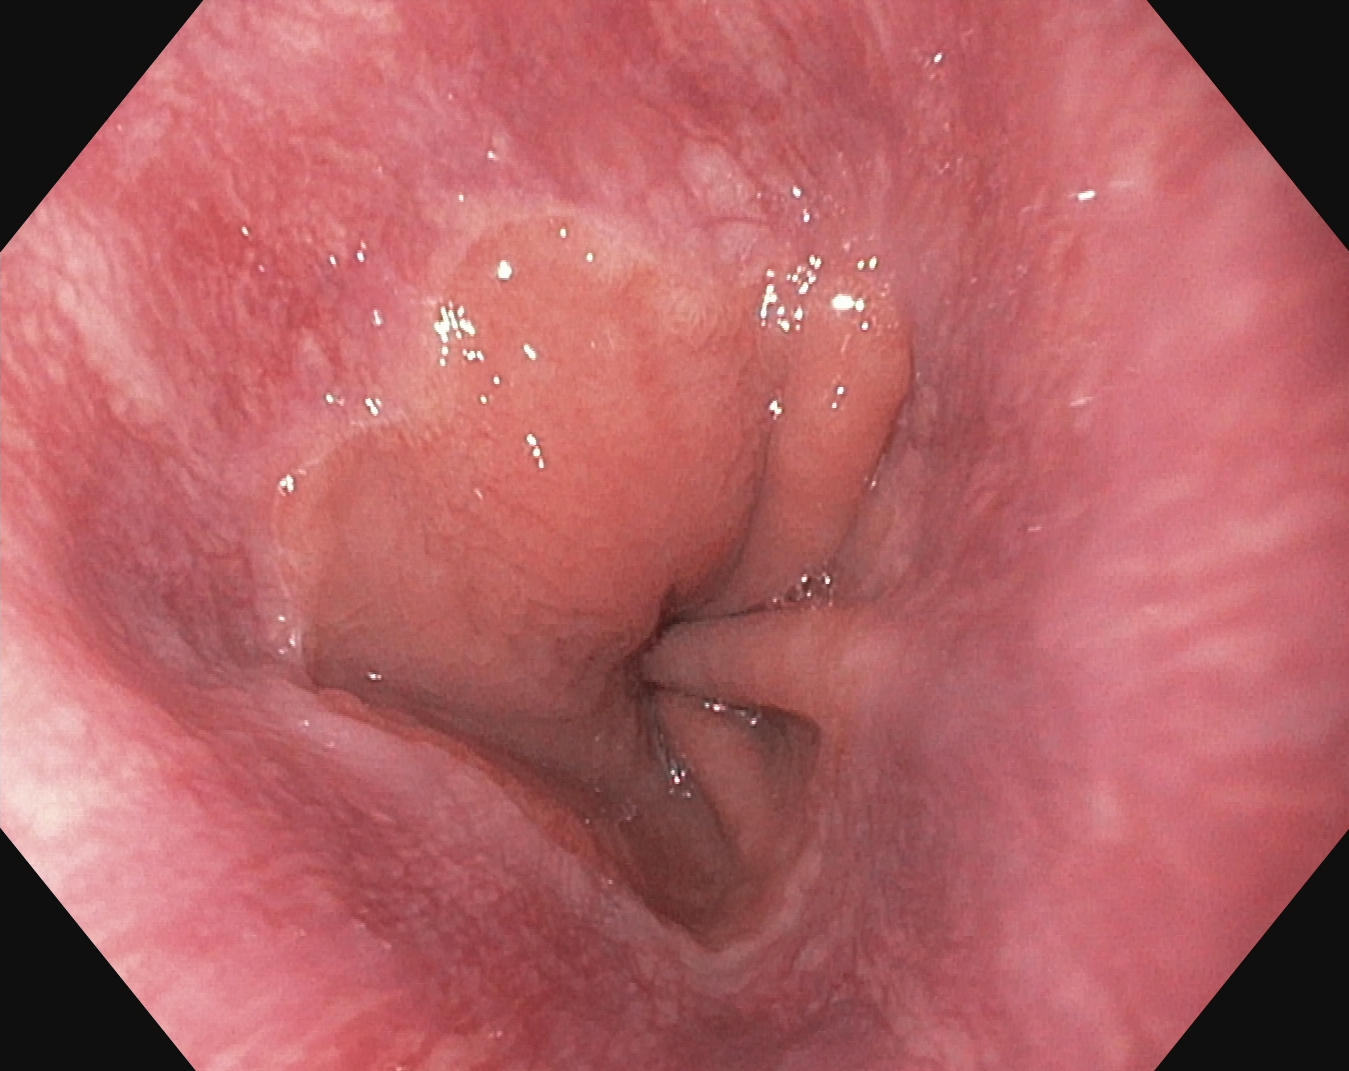{"modality": "esophagogastroduodenoscopy", "tract": "upper GI tract", "finding": "Z-line (gastroesophageal junction)"}